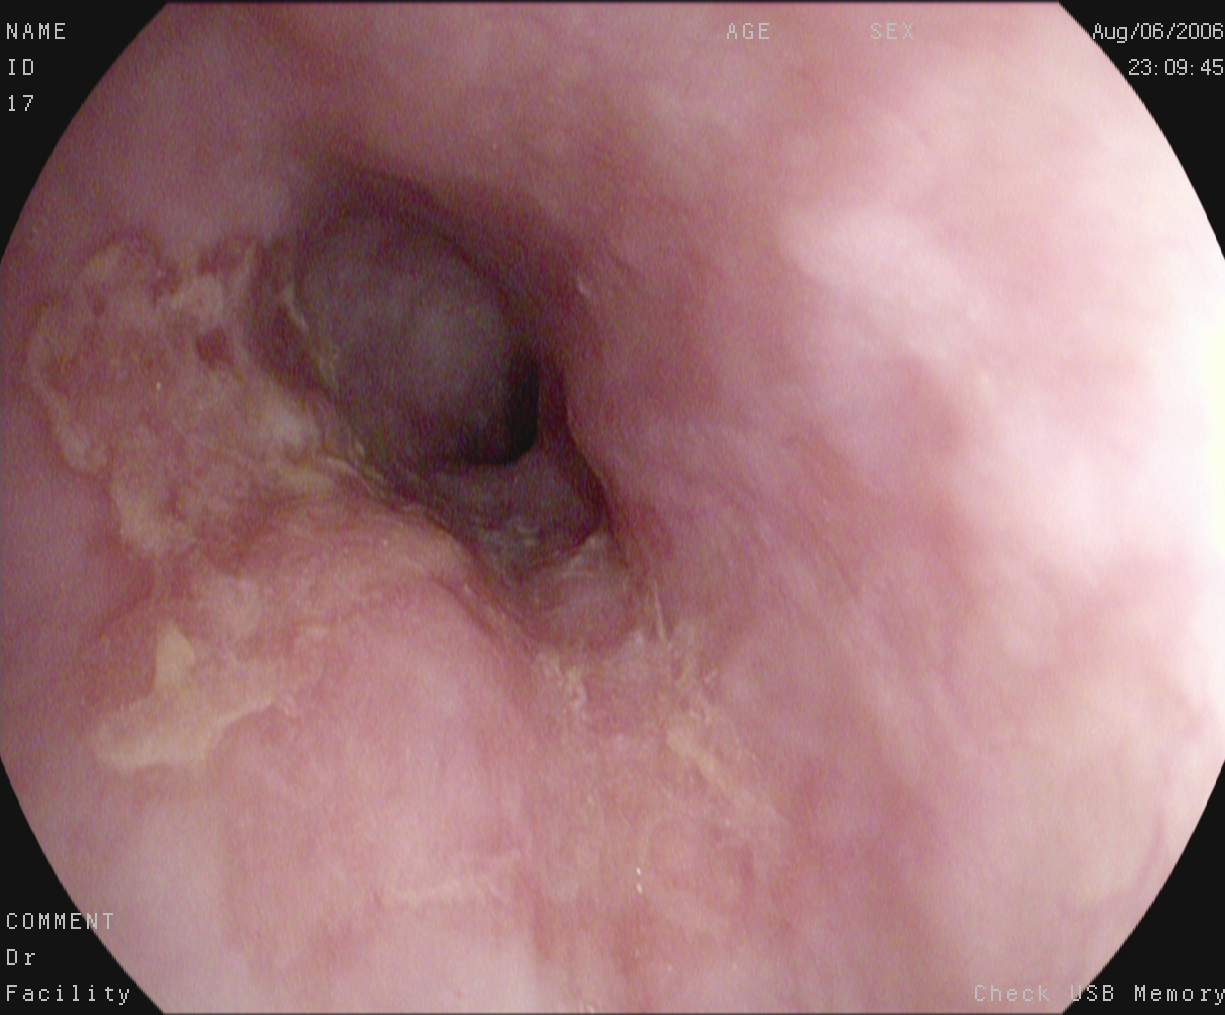{"modality": "esophagogastroduodenoscopy", "finding": "reflux esophagitis, LA grade A"}